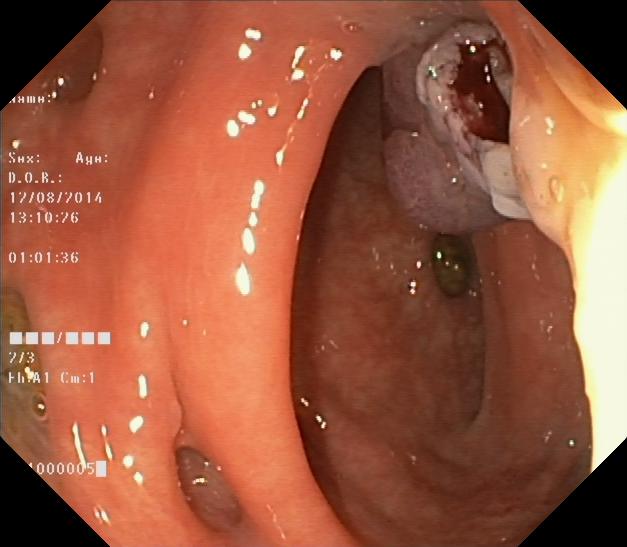PROCEDURE: Colonoscopy.
FINDINGS: Colorectal polyp(s).